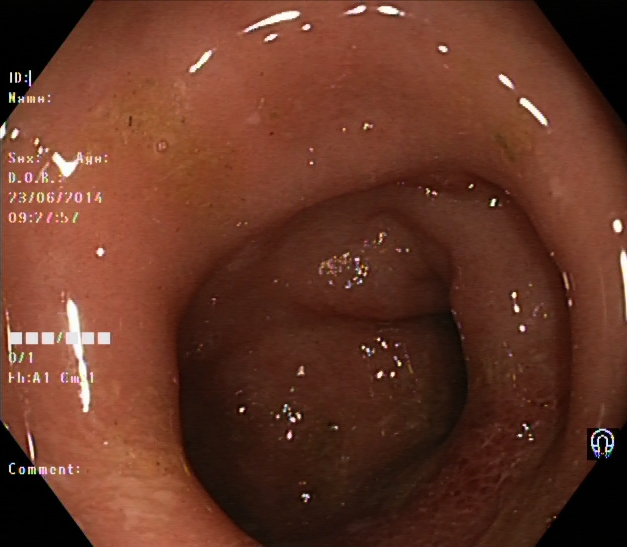This endoscopy frame of the lower GI tract shows ulcerative colitis, Mayo endoscopic subscore 1.